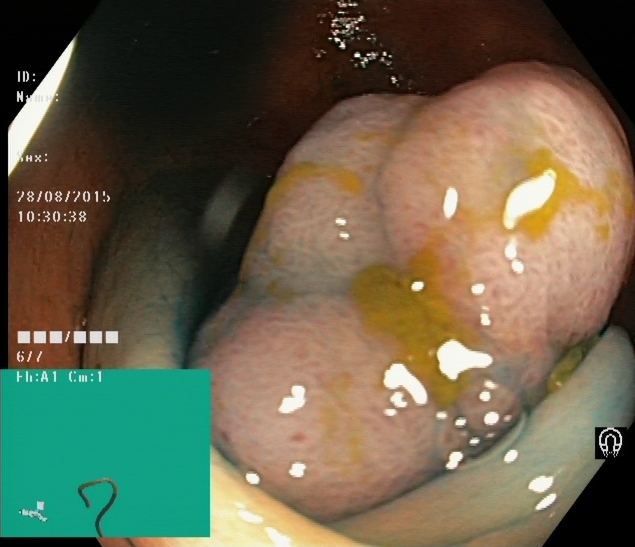Gastrointestinal endoscopy image of the lower GI tract showing dyed and lifted polyp (pre-resection).